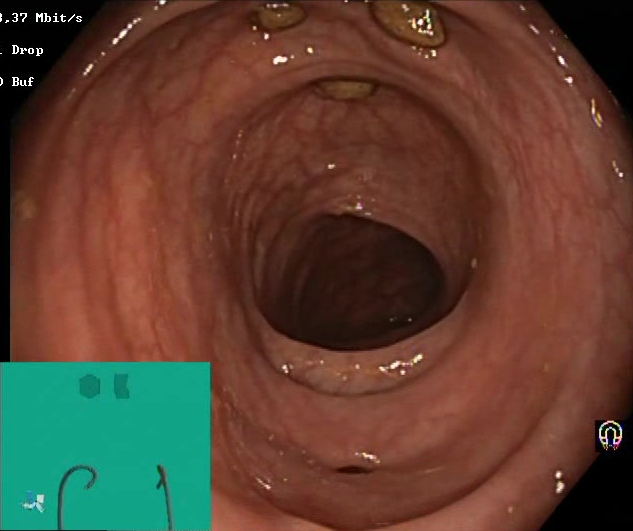GI endoscopy image showing impacted stool.